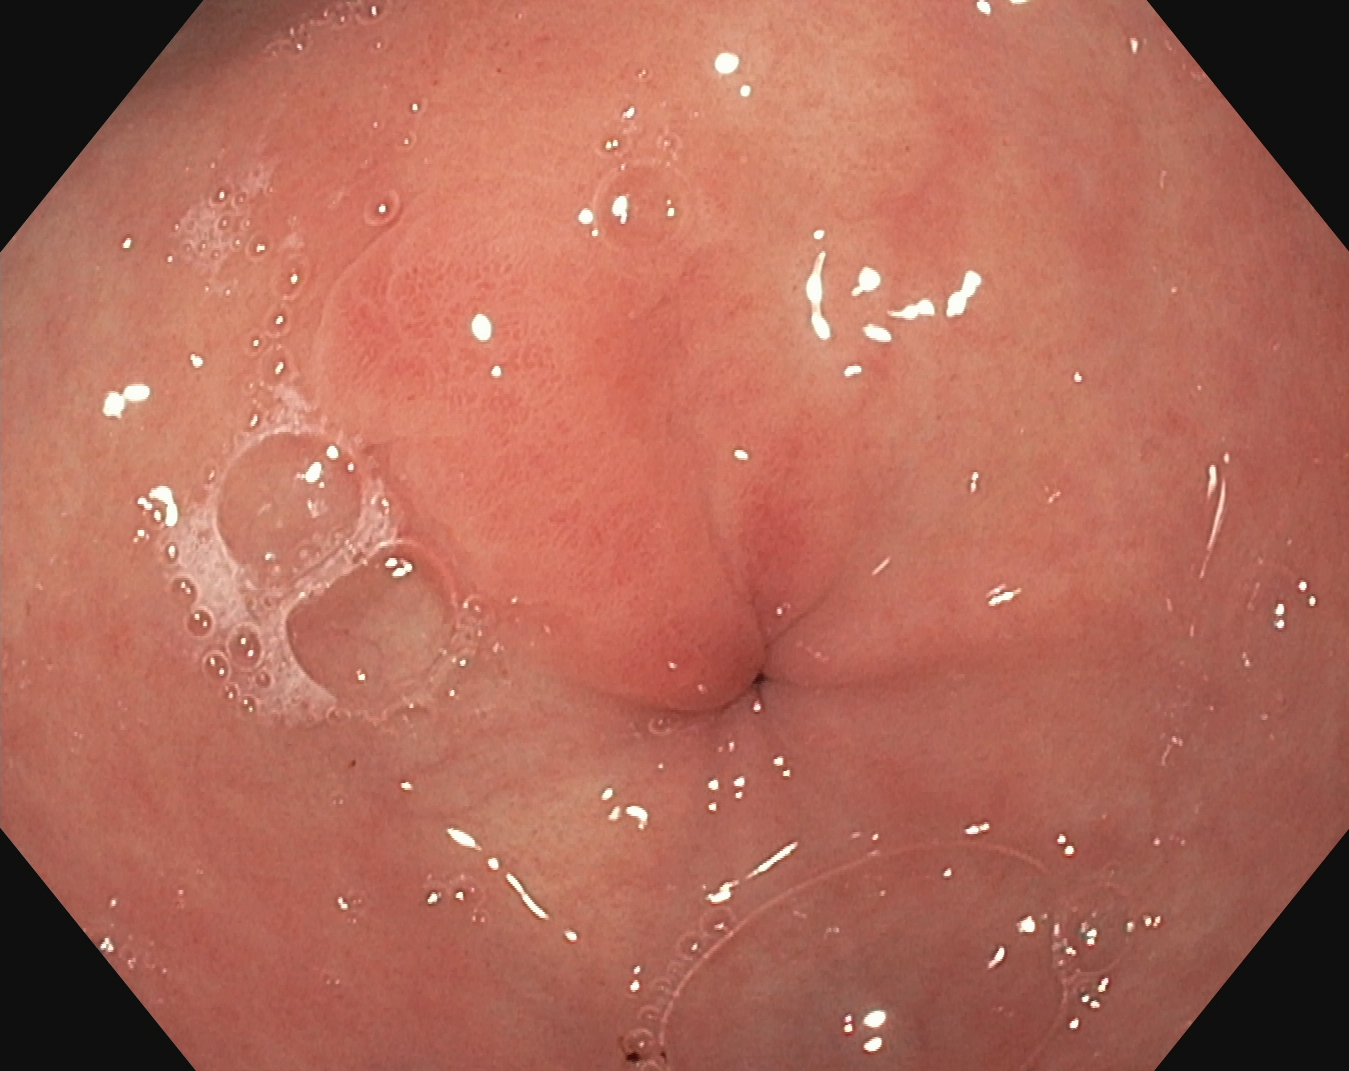This endoscopic image shows pylorus.